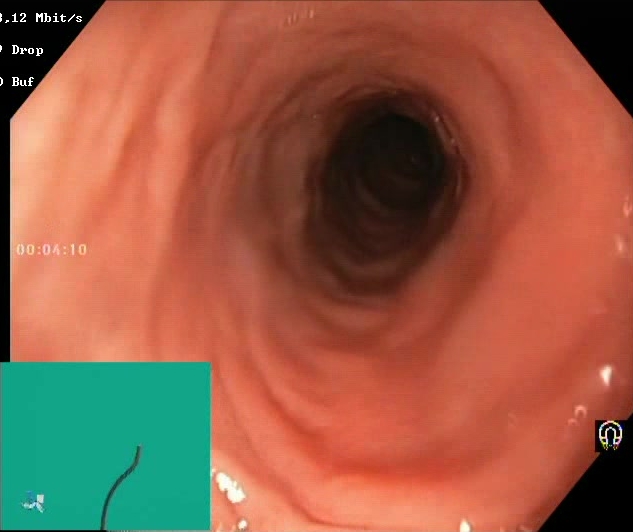Endoscopic frame showing BBPS score 2–3 (adequate preparation).